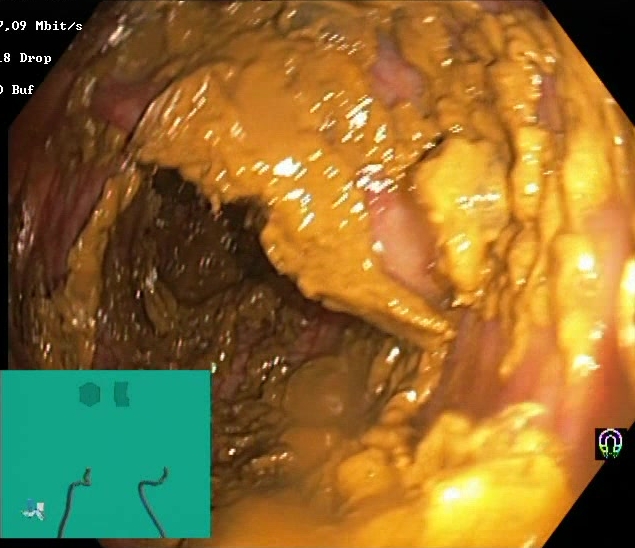Lower-GI endoscopy — Boston Bowel Preparation Scale score 0–1 (inadequate preparation).